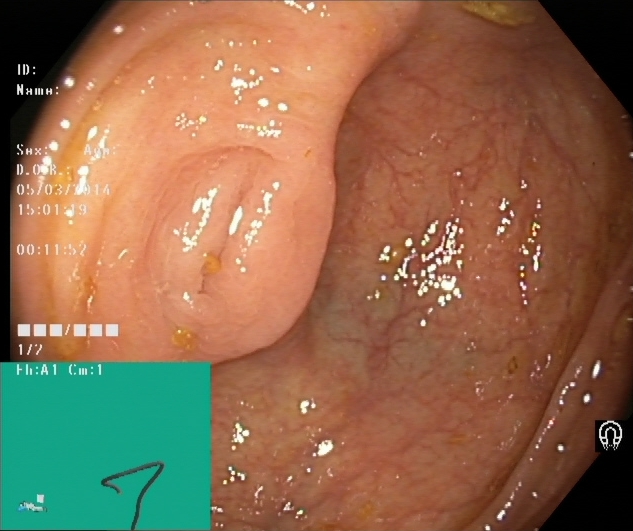Lower-GI endoscopy. Finding: cecum.